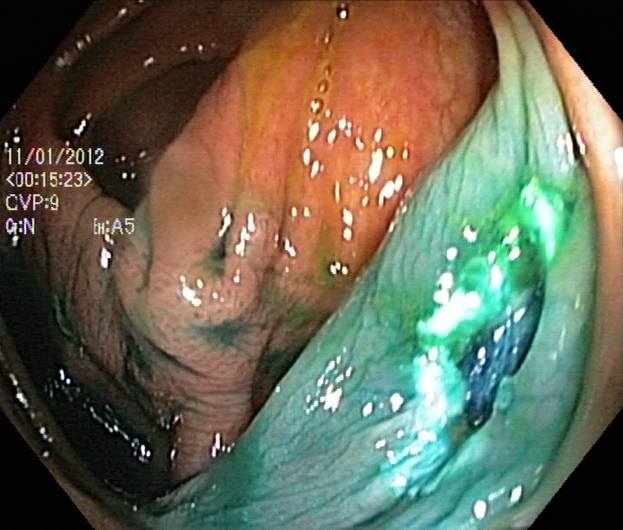This endoscopic image of the lower GI tract shows dyed resection margins (post-polypectomy).